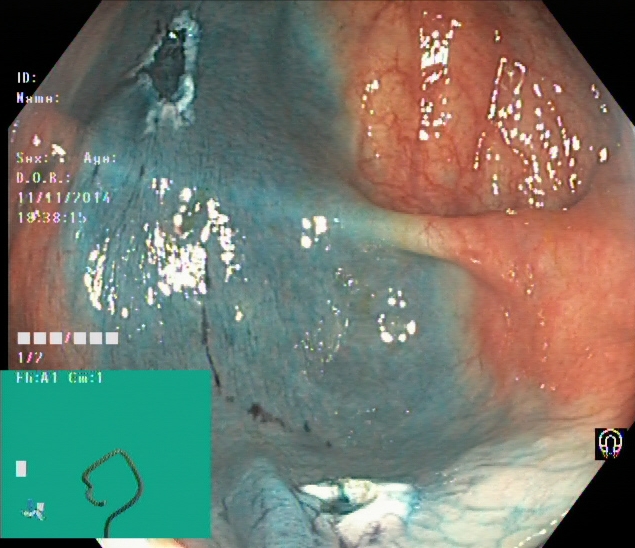Dyed resection margins (post-polypectomy).